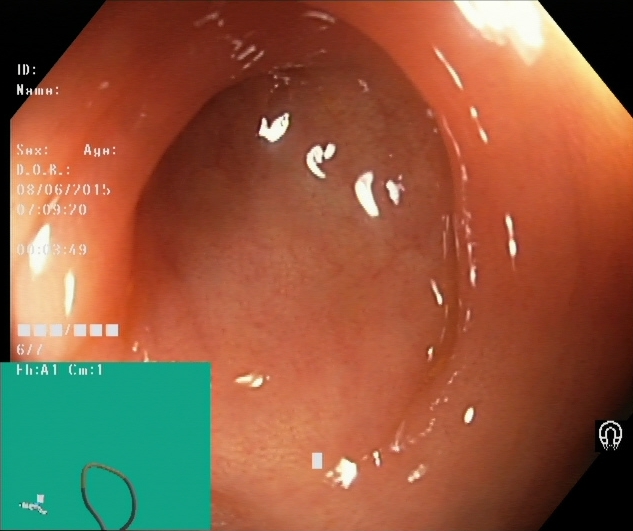This endoscopy frame of the lower GI tract shows cecum.